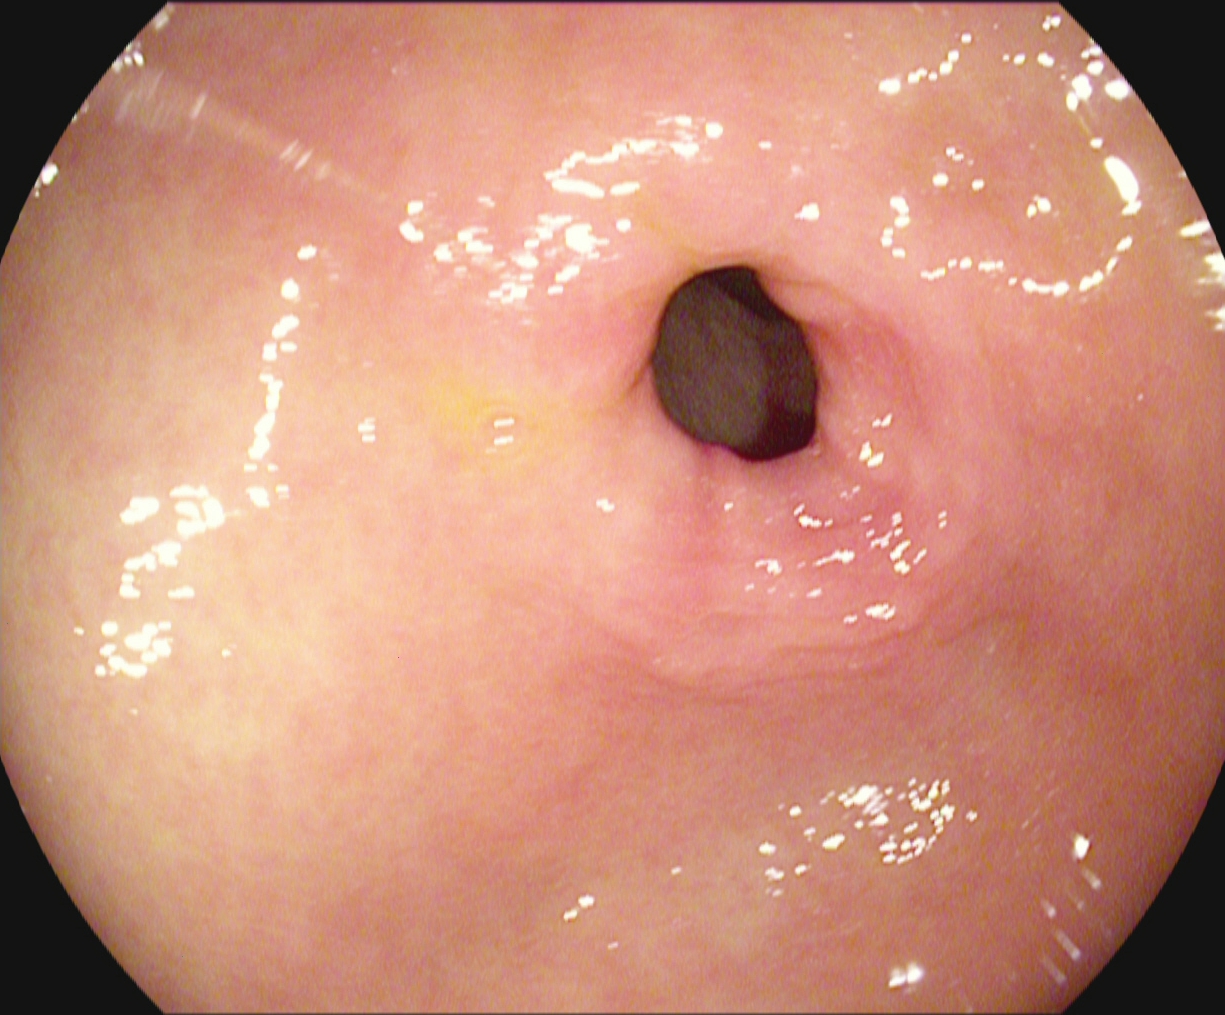GI endoscopy image of the upper GI tract showing pylorus.